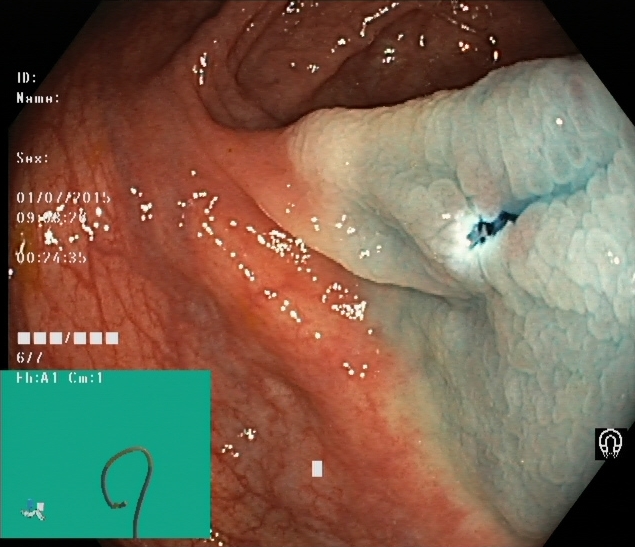This endoscopic image of the lower GI tract shows dyed resection margins (post-polypectomy).